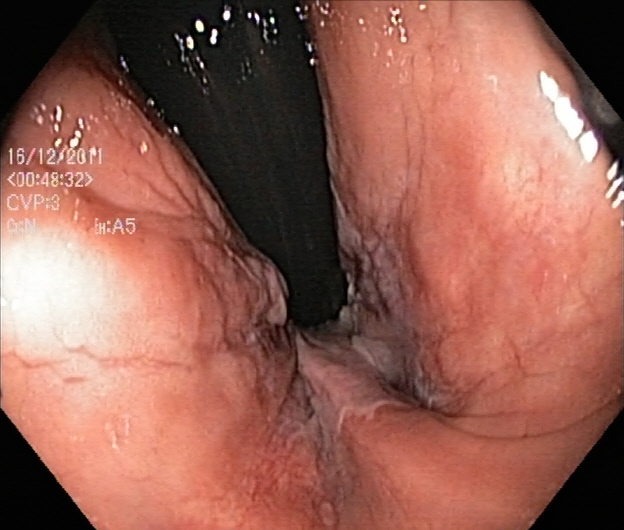PROCEDURE: Lower-GI endoscopy.
CATEGORY: Anatomical landmark.
FINDINGS: Rectum in retroflexion.